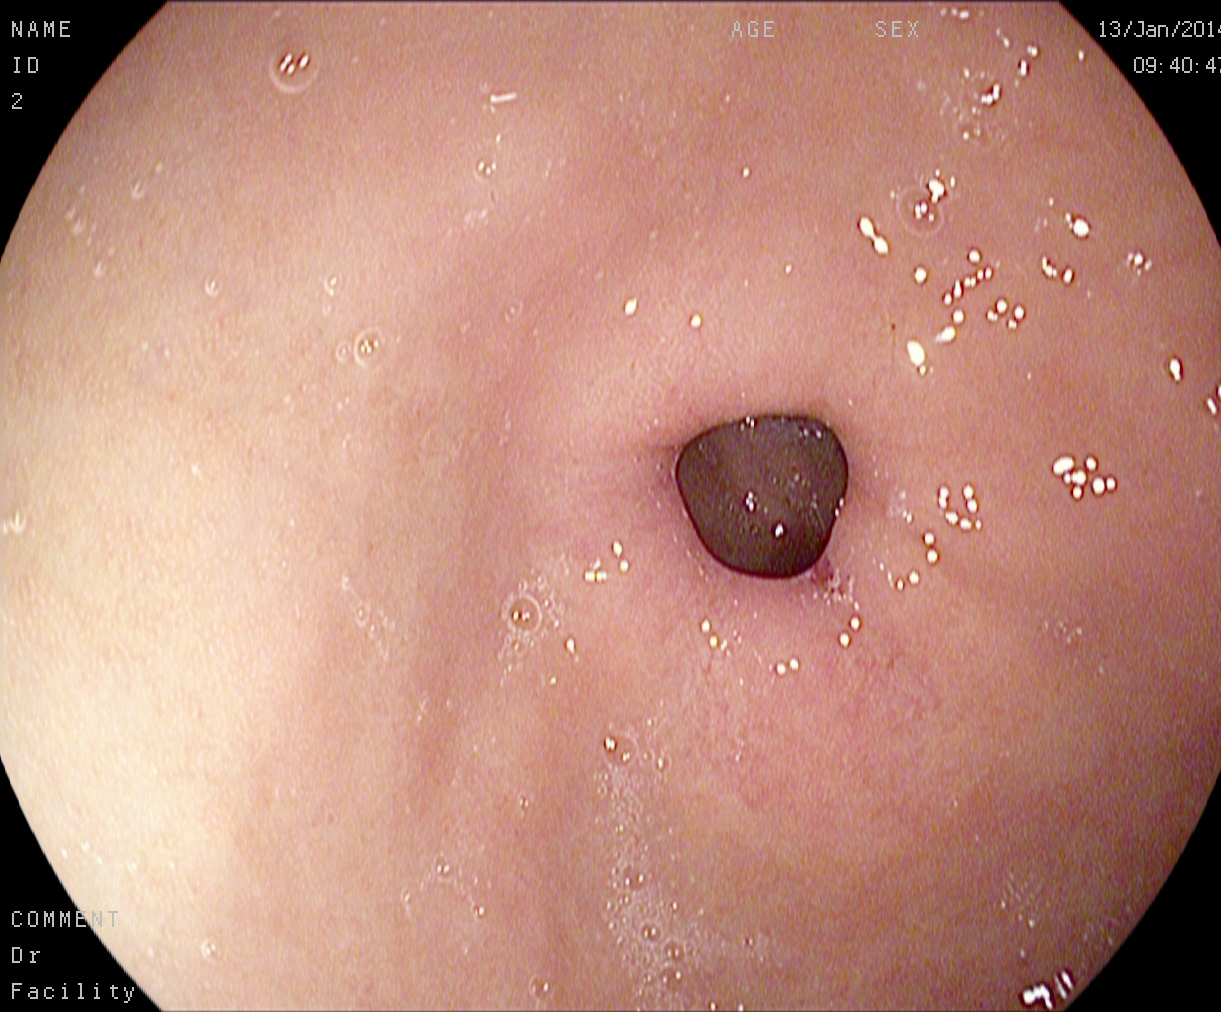Esophagogastroduodenoscopy — pylorus.